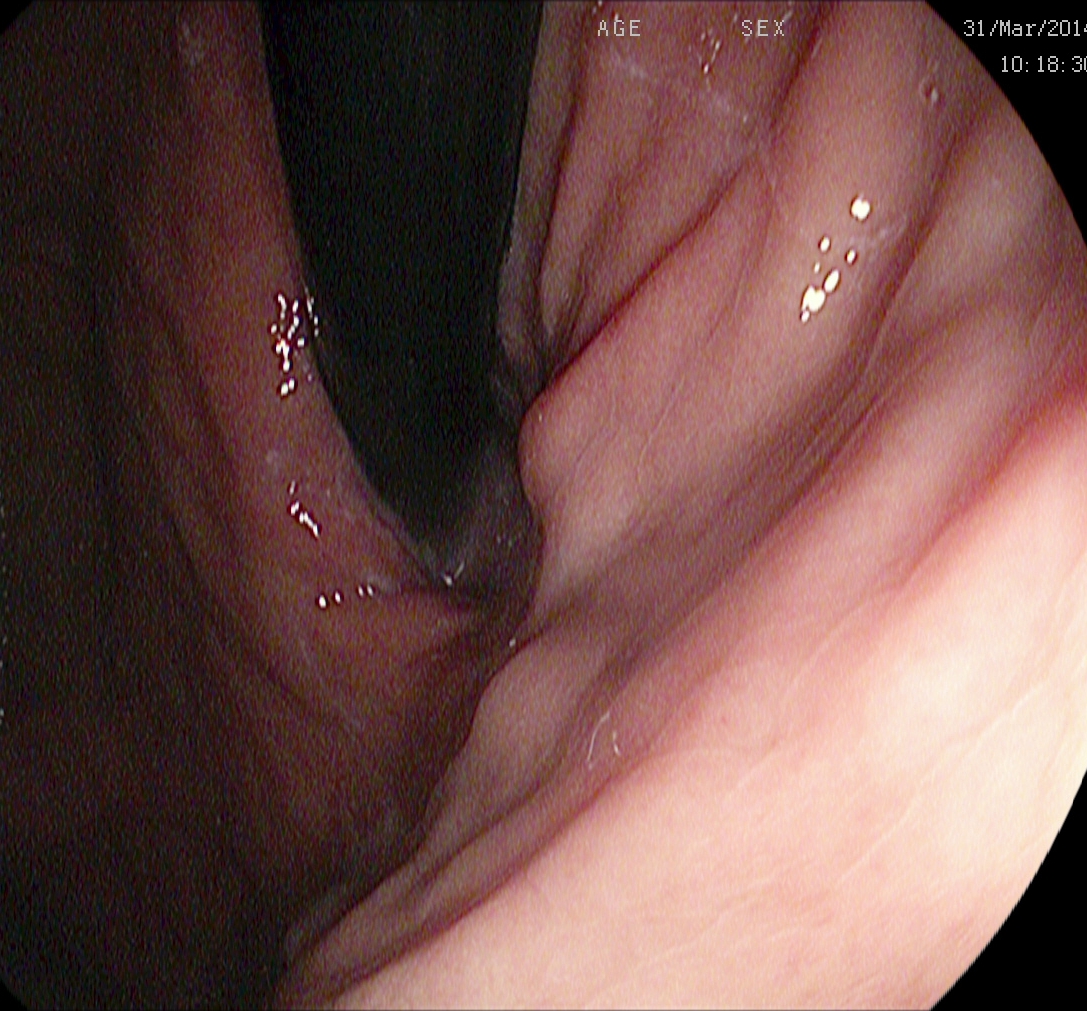Upper-GI endoscopy. Anatomical landmark. Finding: stomach in retroflexion.